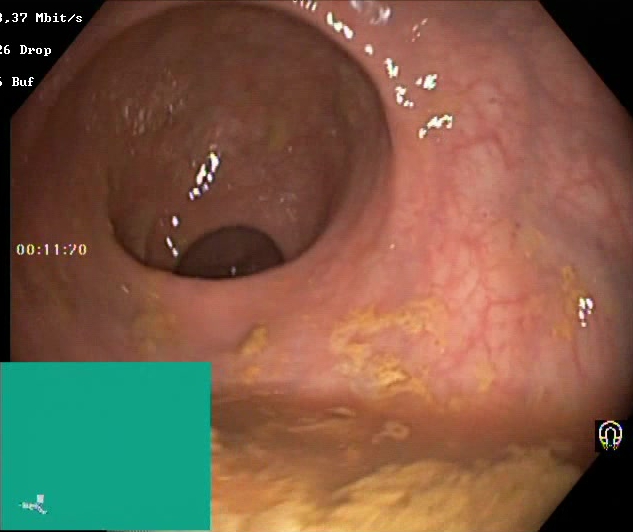Lower gastrointestinal endoscopy. Tract: lower GI tract. Mucosal-view quality. Finding: BBPS score 0–1 (inadequate preparation).